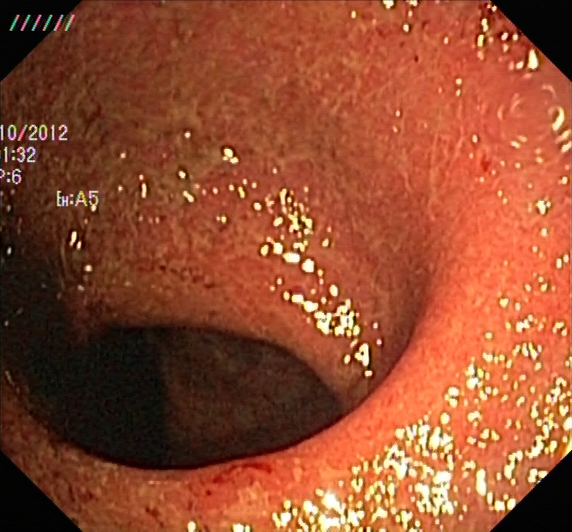UC, Mayo endoscopic subscore 2.